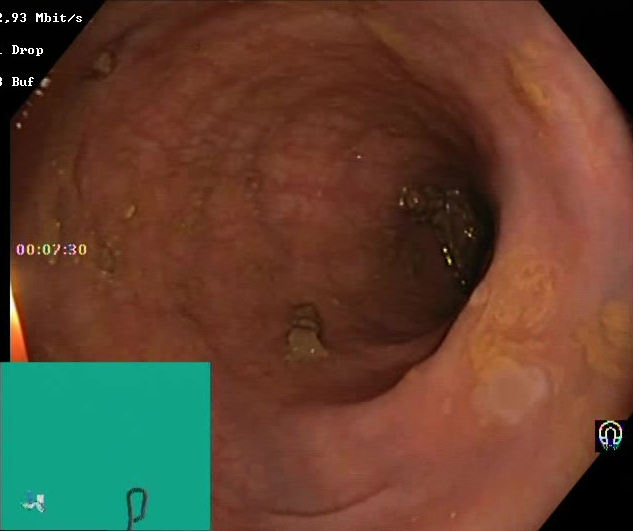Gastrointestinal endoscopy image of the lower GI tract showing Boston Bowel Preparation Scale score 2–3 (adequate preparation).